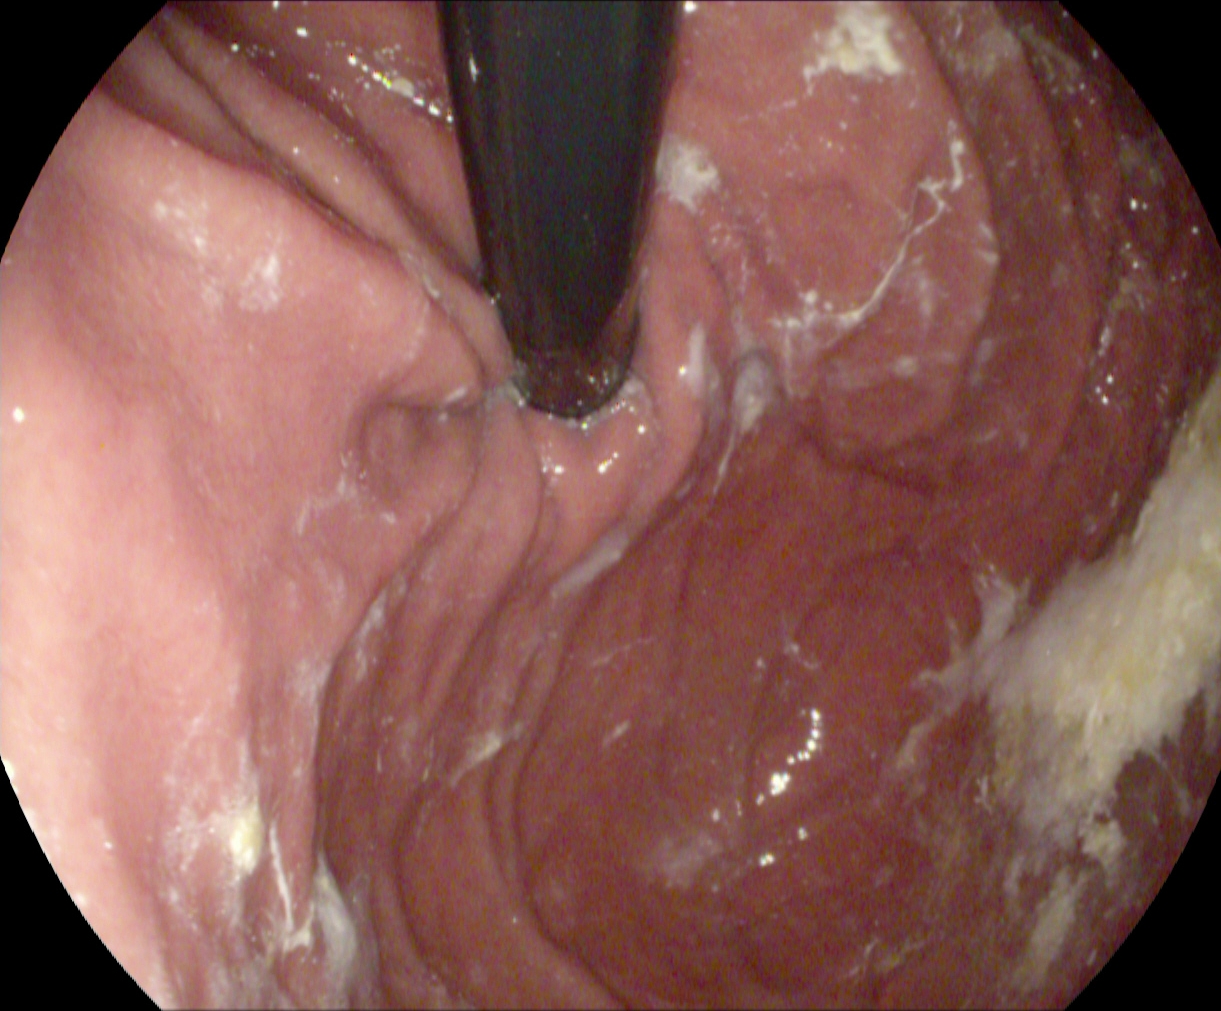PROCEDURE: Gastroscopy.
CATEGORY: Anatomical landmark.
FINDINGS: Stomach in retroflexion.